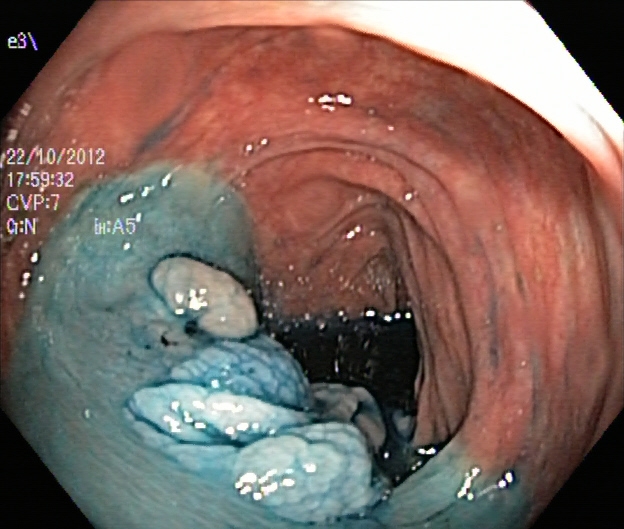{"modality": "lower gastrointestinal endoscopy", "tract": "lower GI tract", "category": "therapeutic intervention", "finding": "dyed and lifted polyp (pre-resection)"}